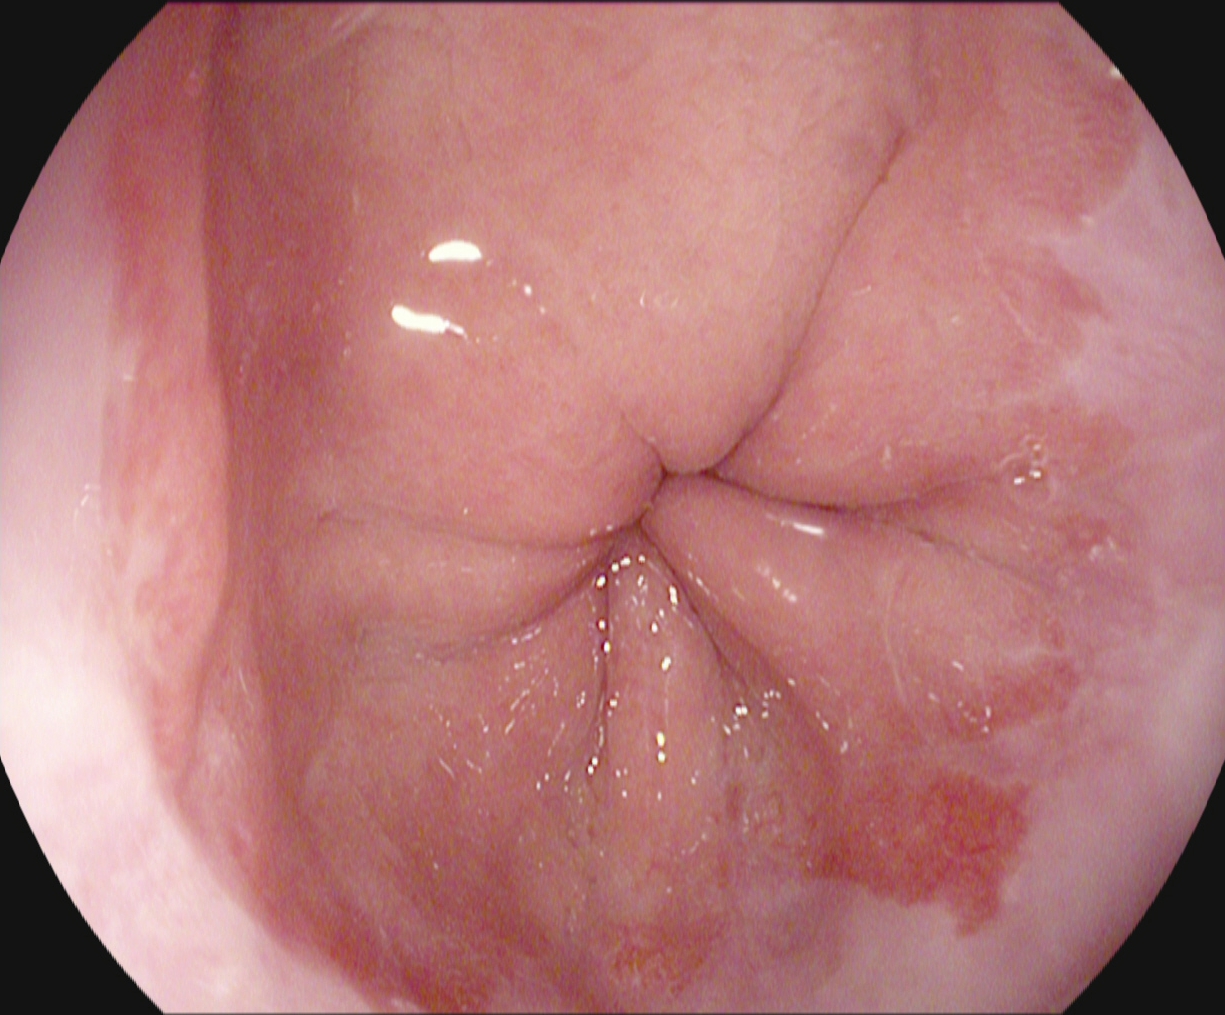Reflux esophagitis, Los Angeles grade A.